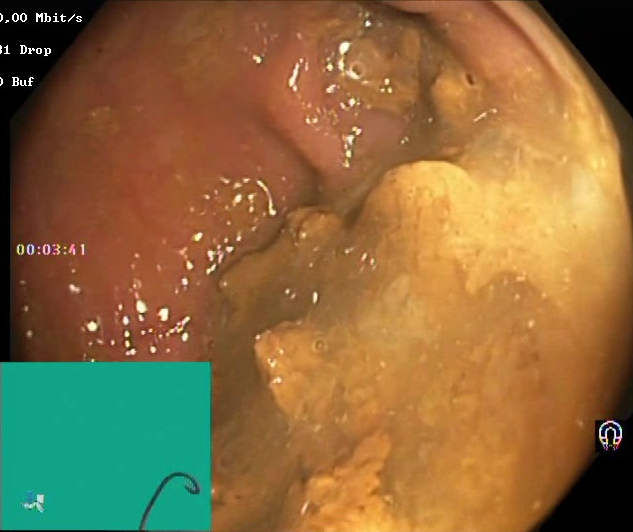Endoscopic frame of the lower GI tract showing Boston Bowel Preparation Scale score 0–1 (inadequate preparation).